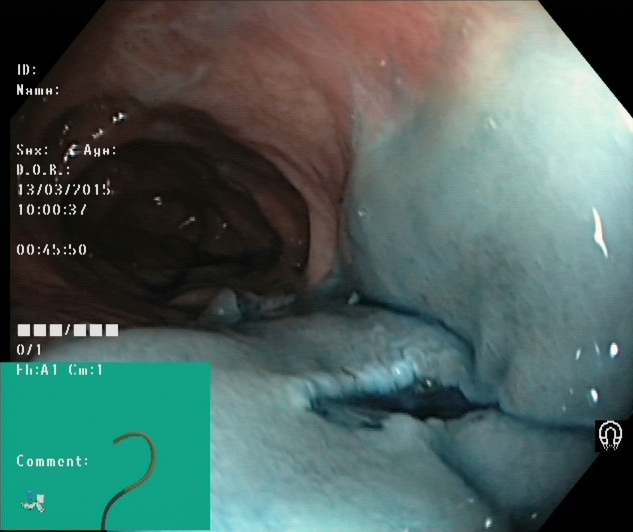{"modality": "lower-GI endoscopy", "finding": "dyed resection margins (post-polypectomy)"}